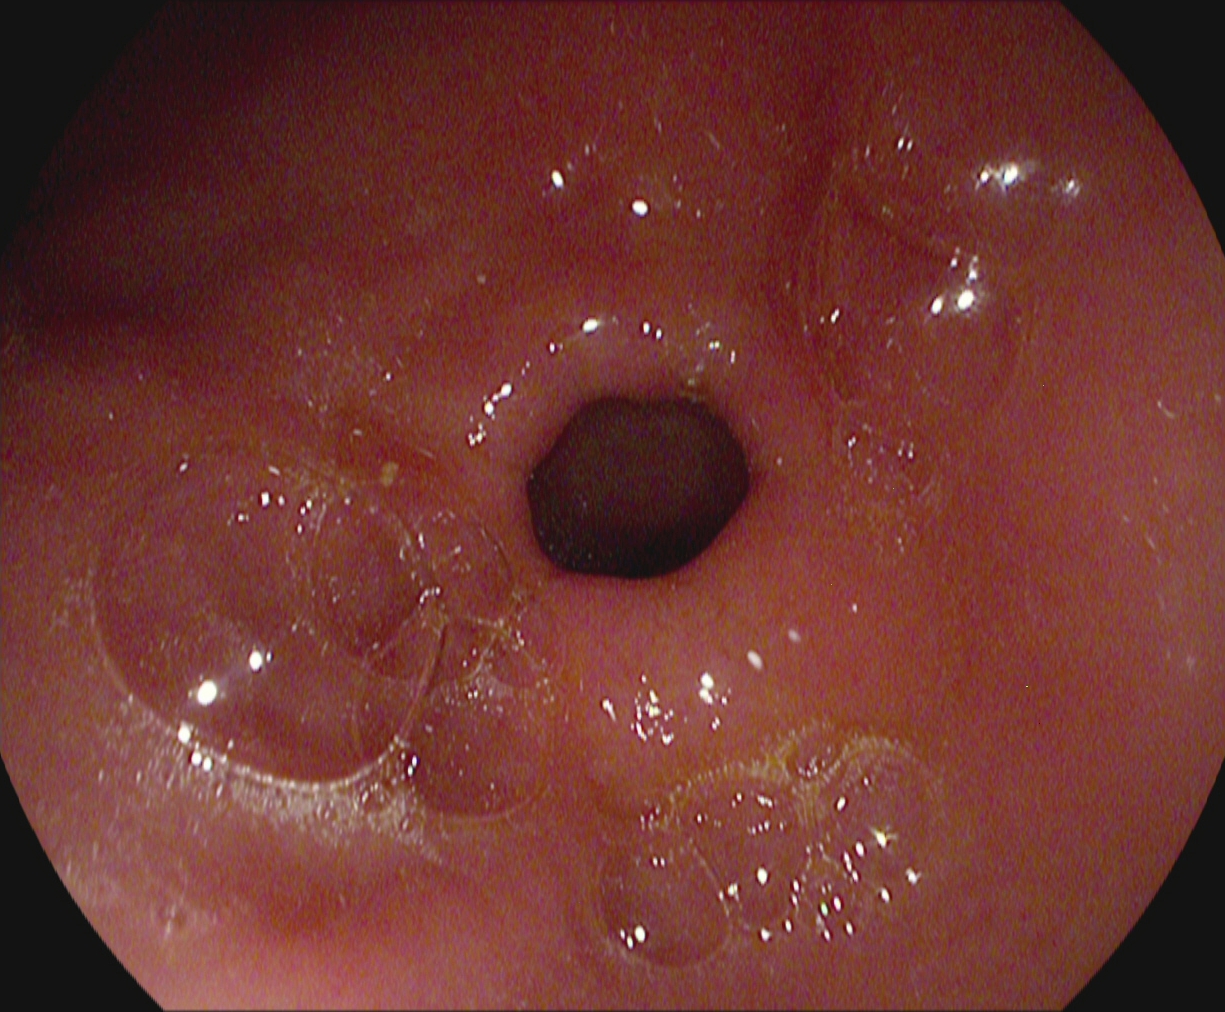Upper-GI endoscopy — pylorus.